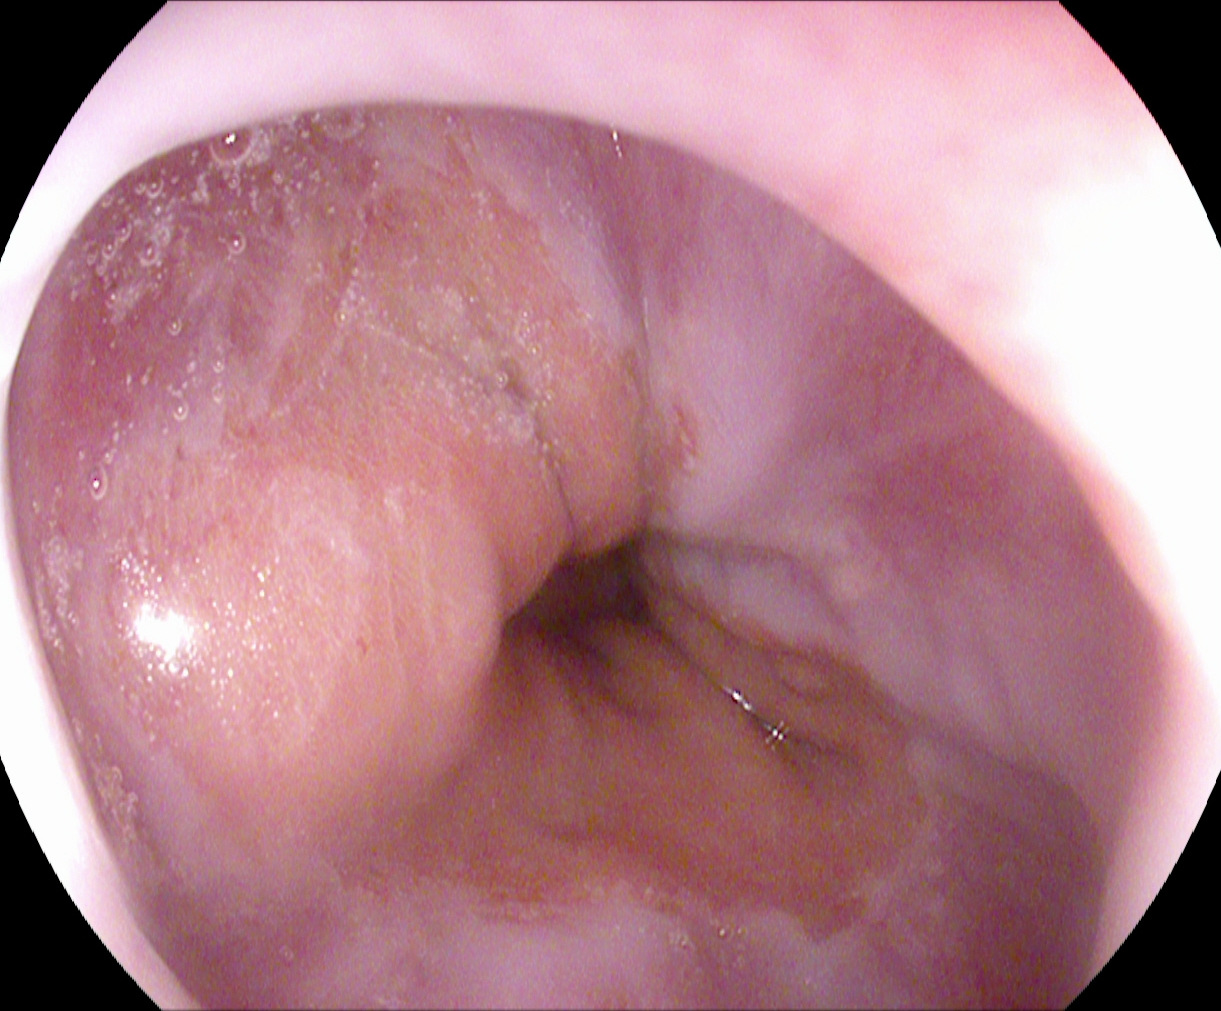Gastroscopy — Z-line (gastroesophageal junction).